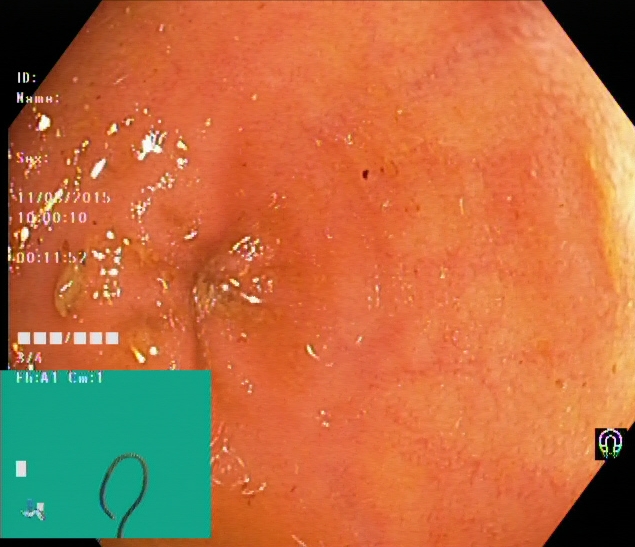Lower gastrointestinal endoscopy. Anatomical landmark. Finding: cecum.